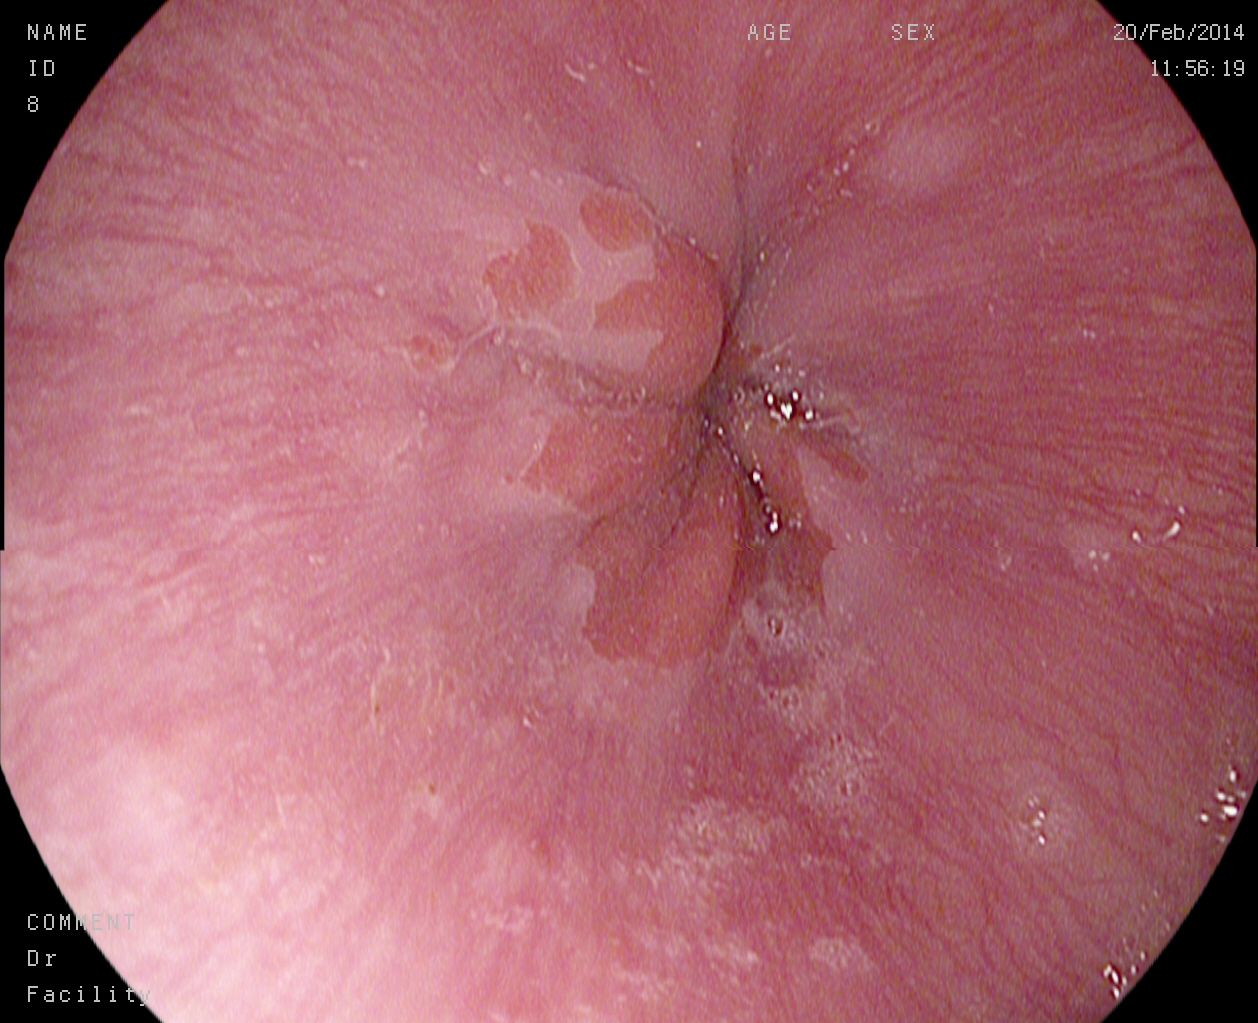Endoscopic frame of the upper GI tract showing Z-line (gastroesophageal junction).